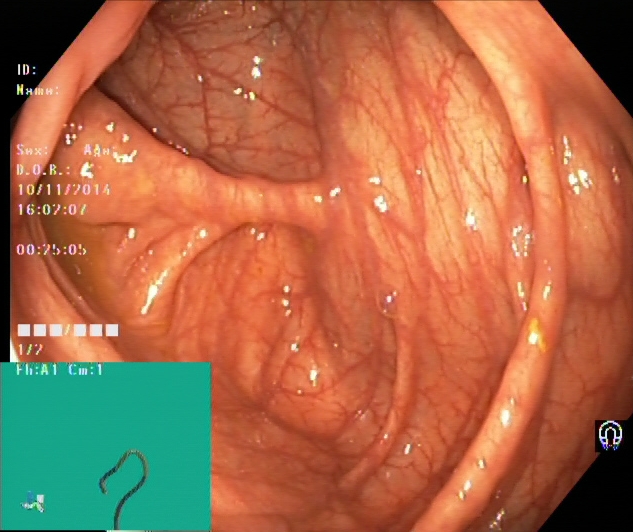Endoscopy image showing cecum.